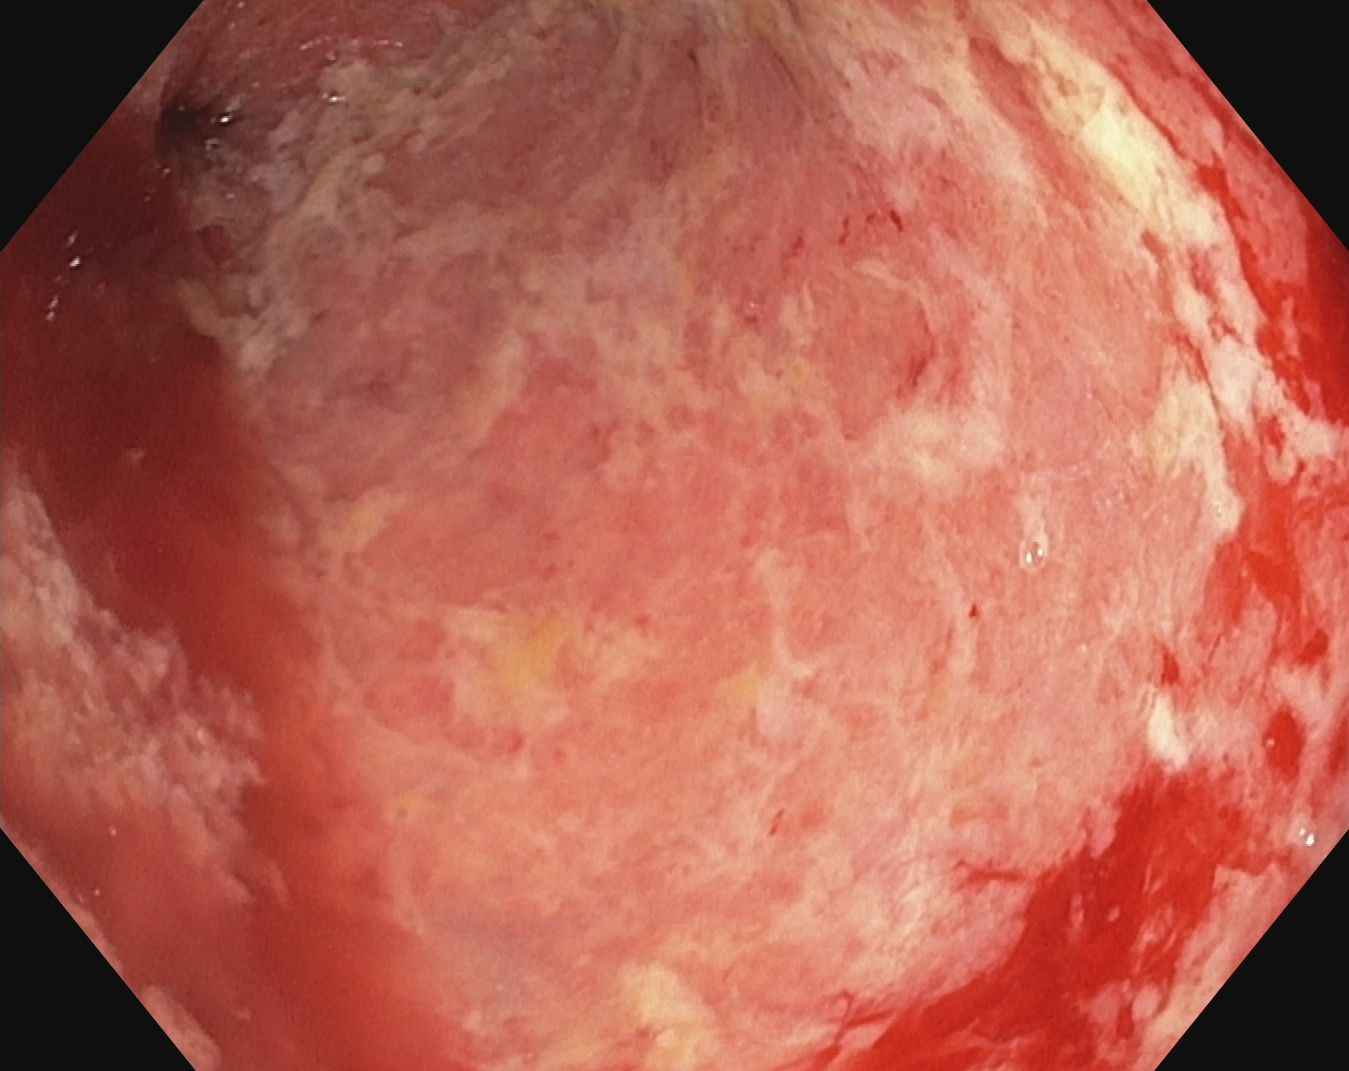PROCEDURE: Lower gastrointestinal endoscopy.
CATEGORY: Pathological finding.
FINDINGS: Ulcerative colitis, Mayo endoscopic subscore 2.